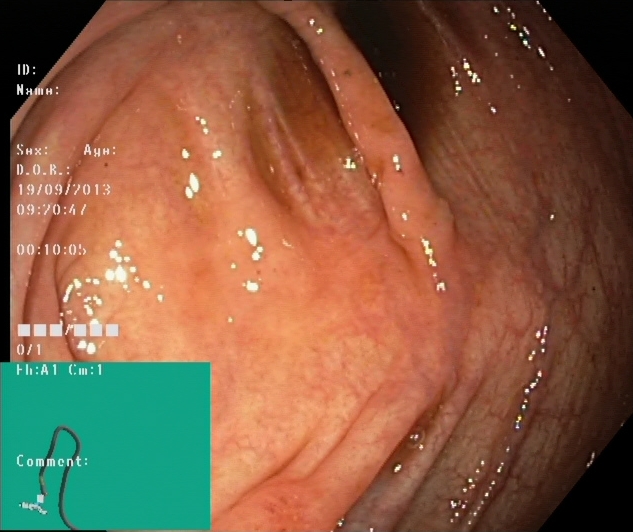modality: lower-GI endoscopy; category: anatomical landmark; finding: cecum